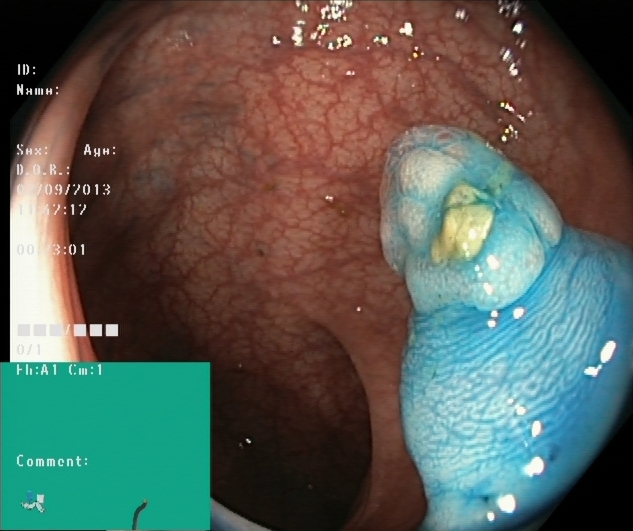PROCEDURE: Lower-GI endoscopy.
FINDINGS: Dyed and lifted polyp (pre-resection).